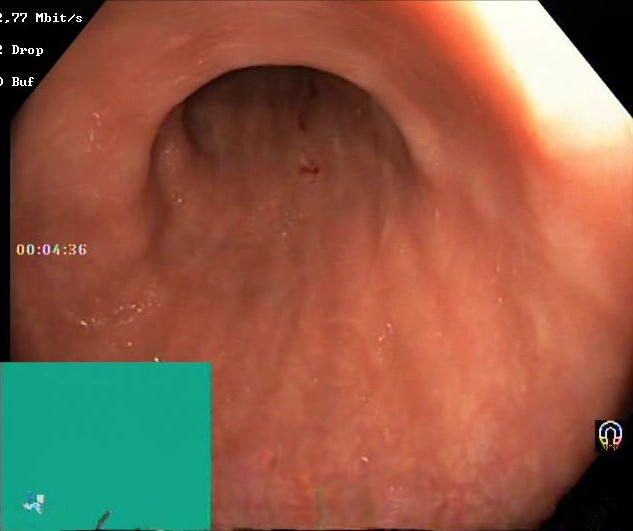{"modality": "lower gastrointestinal endoscopy", "tract": "lower GI tract", "finding": "Boston Bowel Preparation Scale score 2\u20133 (adequate preparation)"}